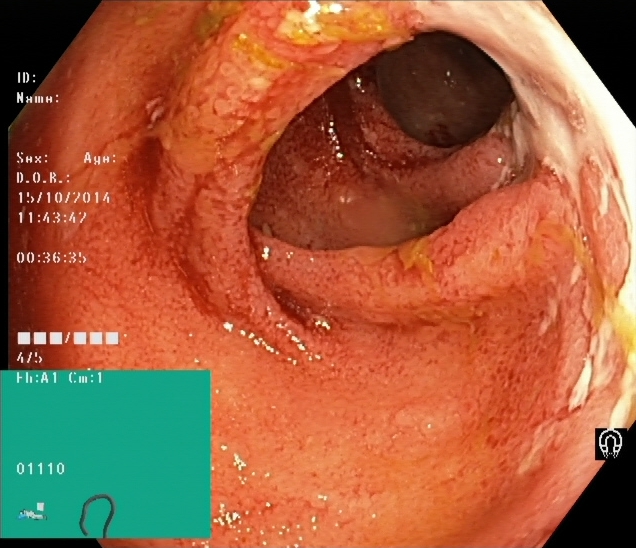This endoscopy frame shows UC, Mayo endoscopic subscore 3.